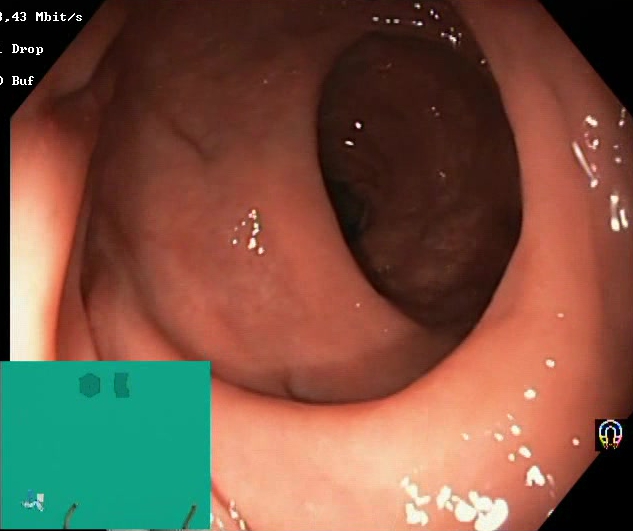{"modality": "colonoscopy", "tract": "lower GI tract", "category": "mucosal-view quality", "finding": "Boston Bowel Preparation Scale score 2\u20133 (adequate preparation)"}